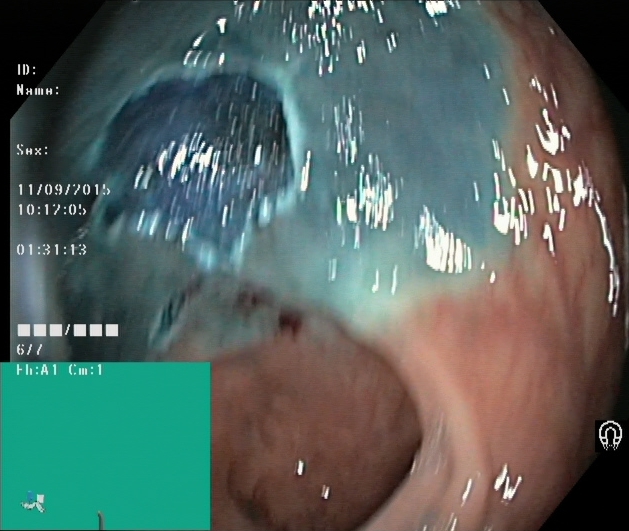modality: lower gastrointestinal endoscopy
category: therapeutic intervention
finding: dyed resection margins (post-polypectomy)